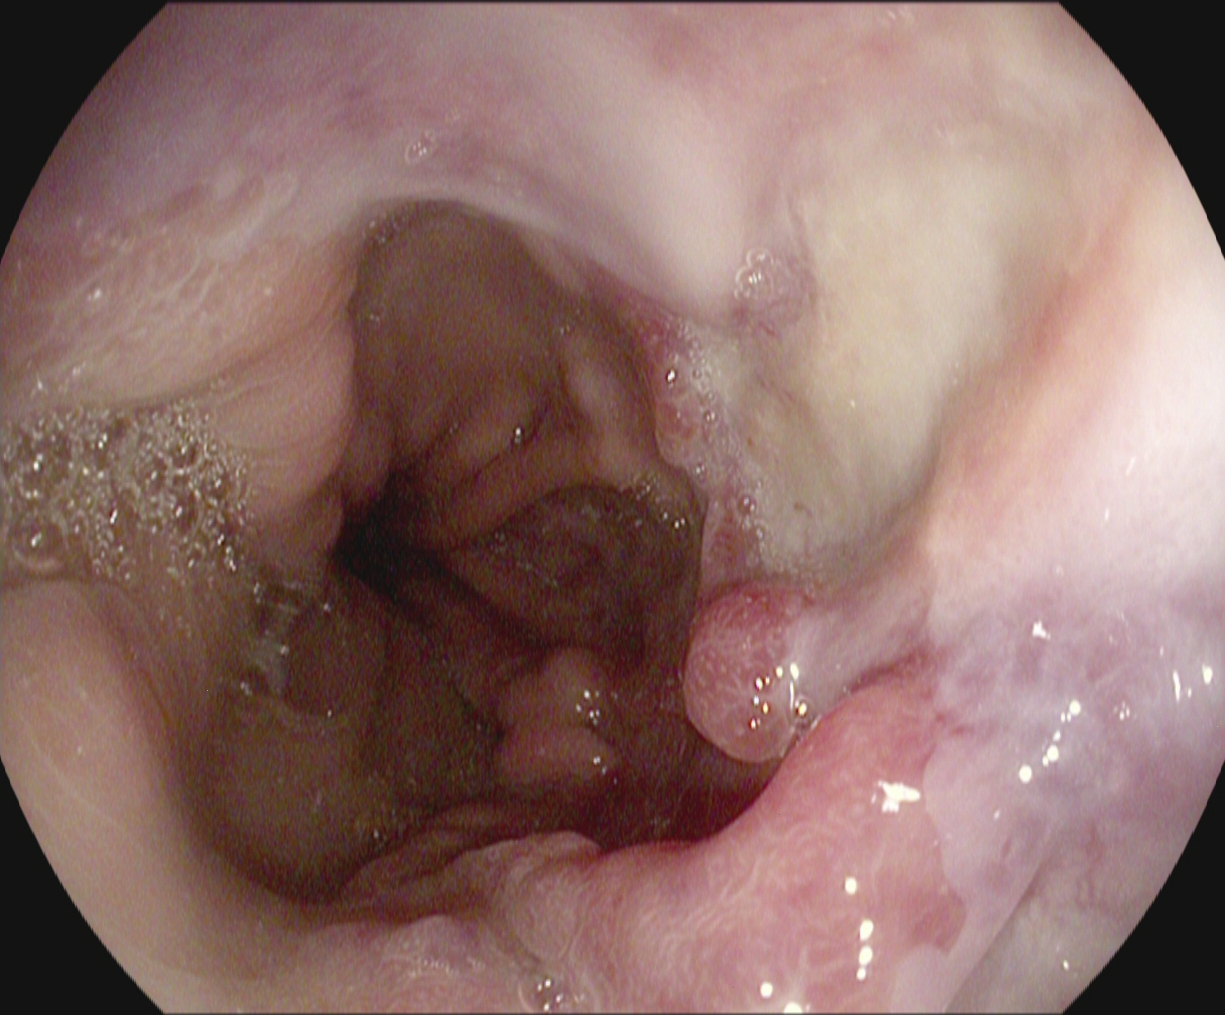modality: upper-GI endoscopy | finding: reflux esophagitis, Los Angeles grade B–D